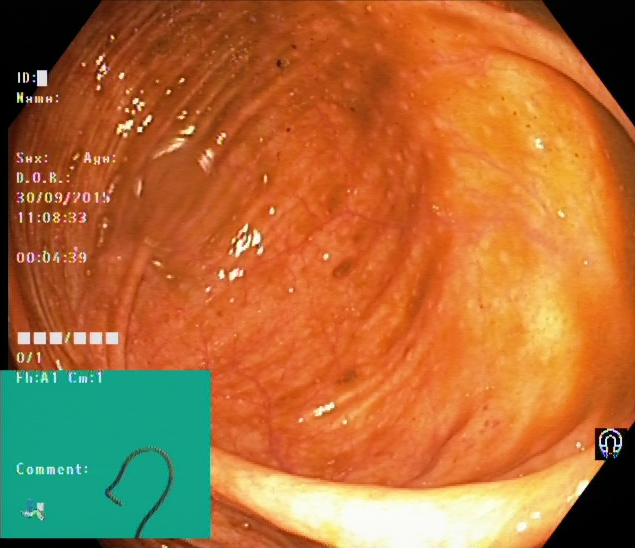Colonoscopy — cecum.